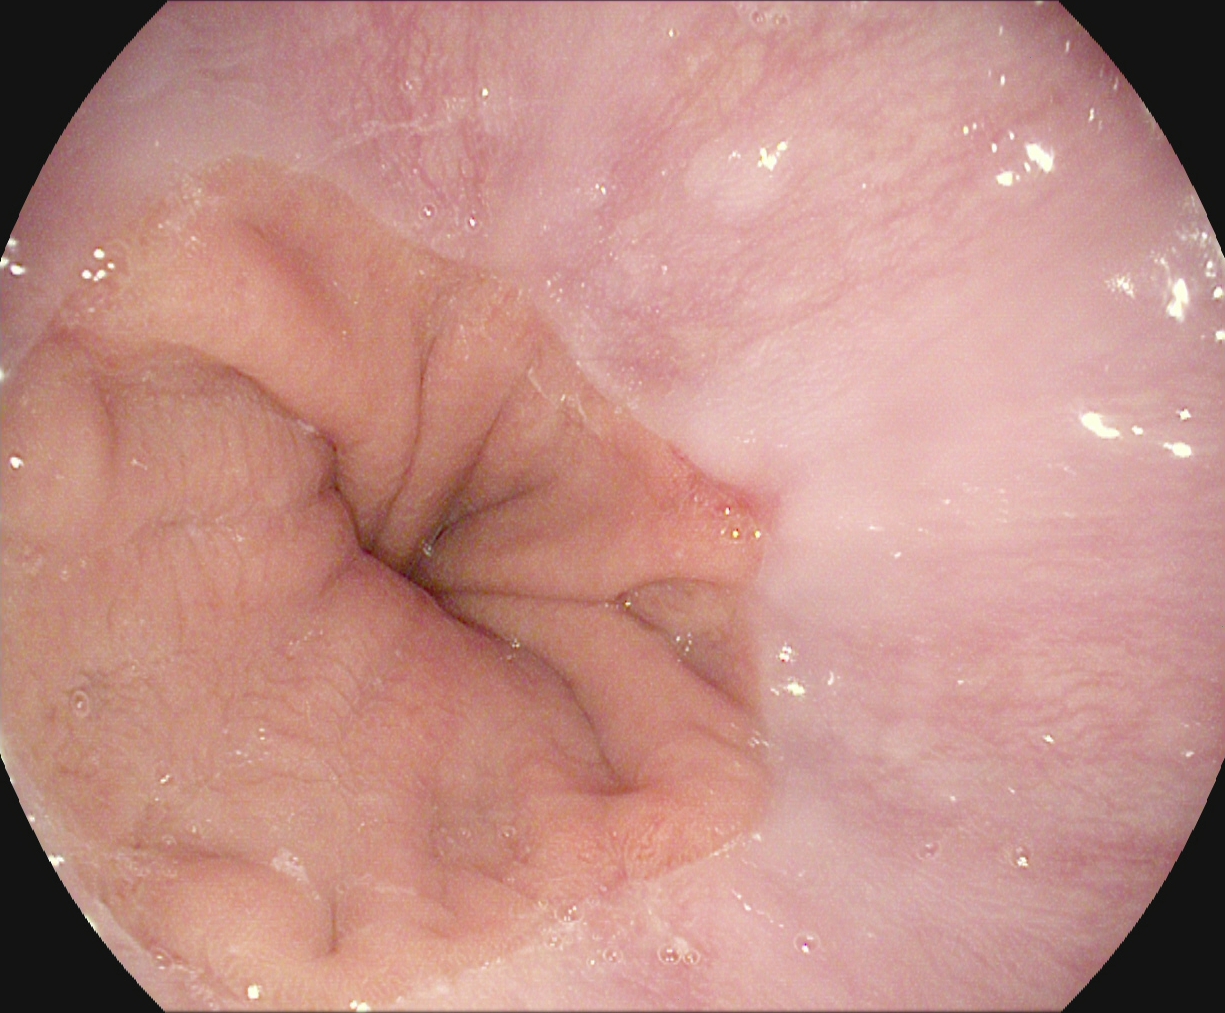modality: upper-GI endoscopy | finding: Z-line (gastroesophageal junction)